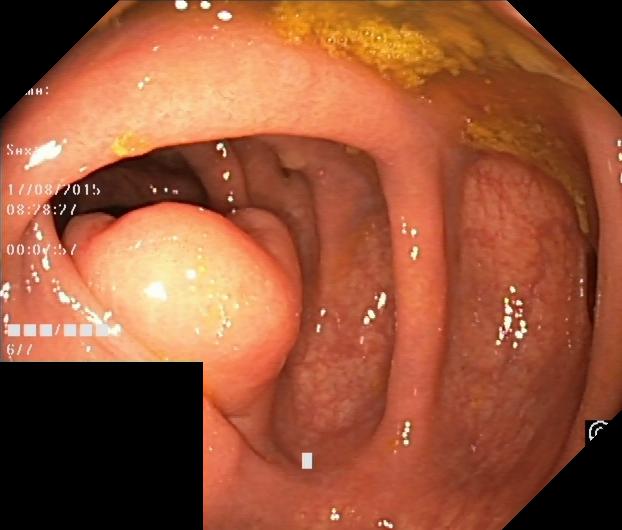Colonoscopy. Tract: lower GI tract. Pathological finding. Finding: colorectal polyp(s).